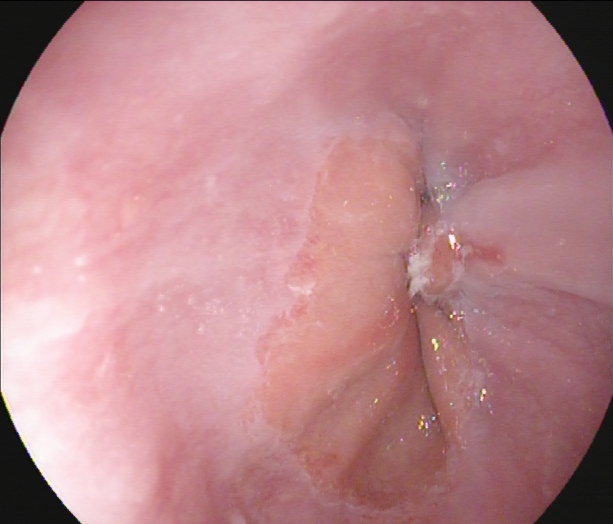PROCEDURE: Upper-GI endoscopy.
CATEGORY: Pathological finding.
FINDINGS: Reflux esophagitis, Los Angeles grade A.